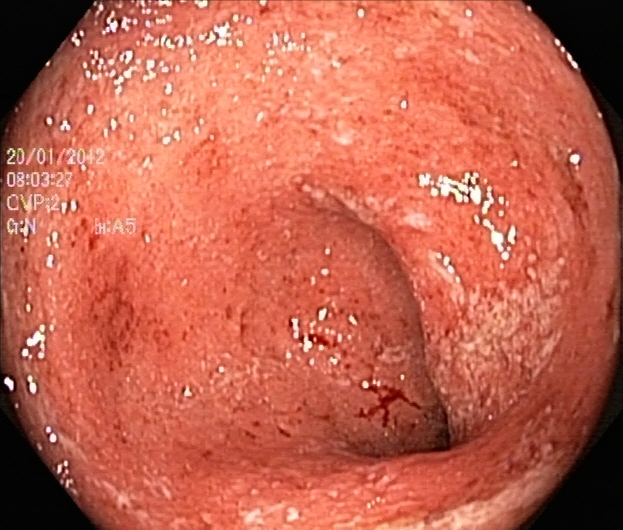Lower-GI endoscopy. Tract: lower GI tract. Pathological finding. Finding: ulcerative colitis, Mayo endoscopic subscore 2.